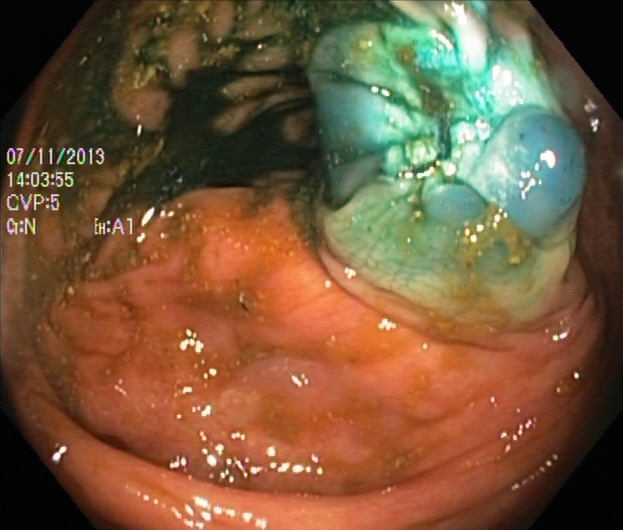Dyed resection margins (post-polypectomy).